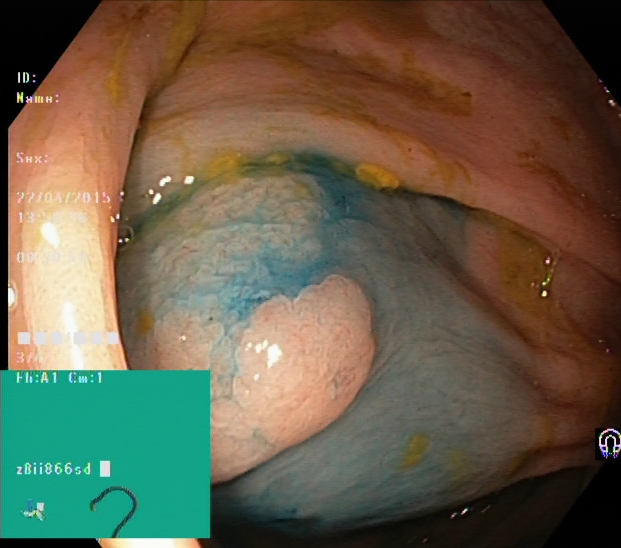This endoscopy frame of the lower GI tract shows dyed and lifted polyp (pre-resection).